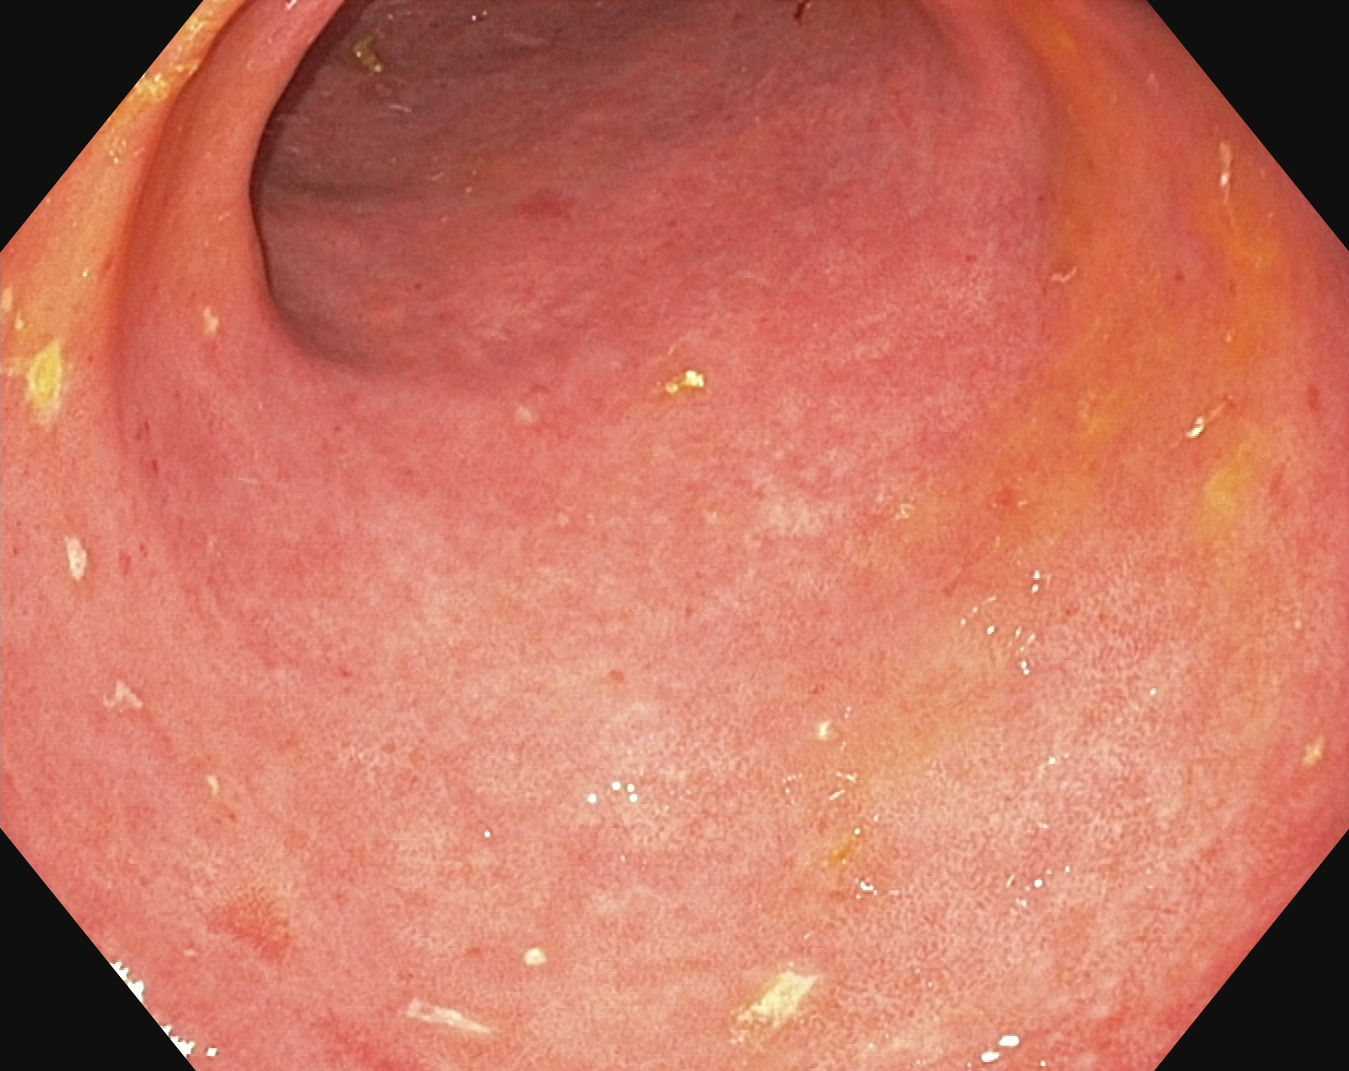UC, Mayo endoscopic subscore 1–2.